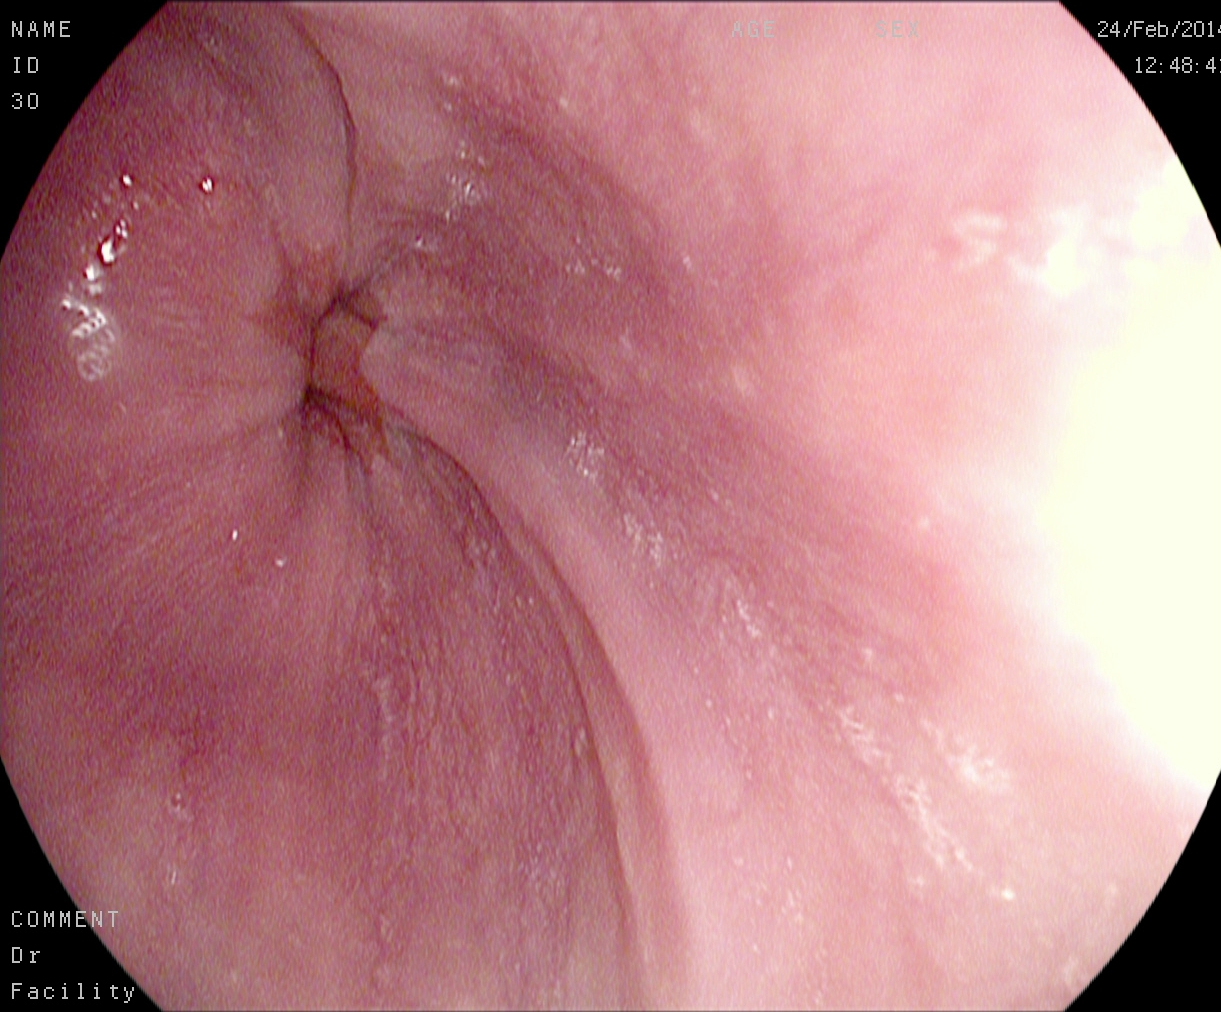modality: esophagogastroduodenoscopy | category: anatomical landmark | finding: Z-line (gastroesophageal junction)